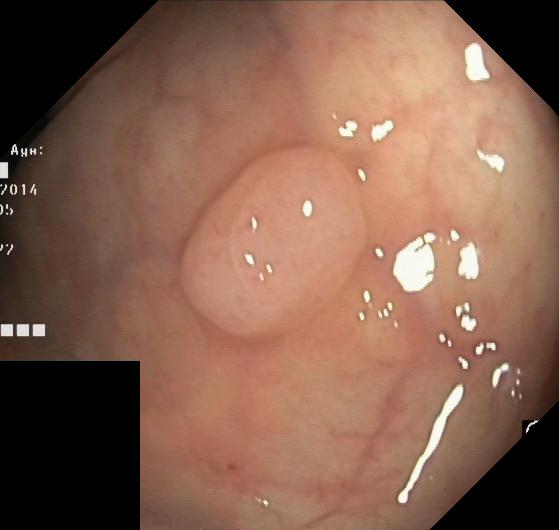{"modality": "colonoscopy", "tract": "lower GI tract", "finding": "colorectal polyp(s)"}